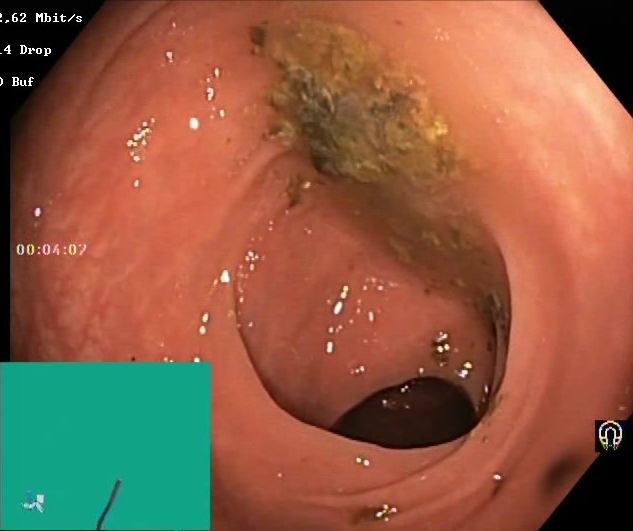This endoscopic image of the lower GI tract shows BBPS score 0–1 (inadequate preparation).